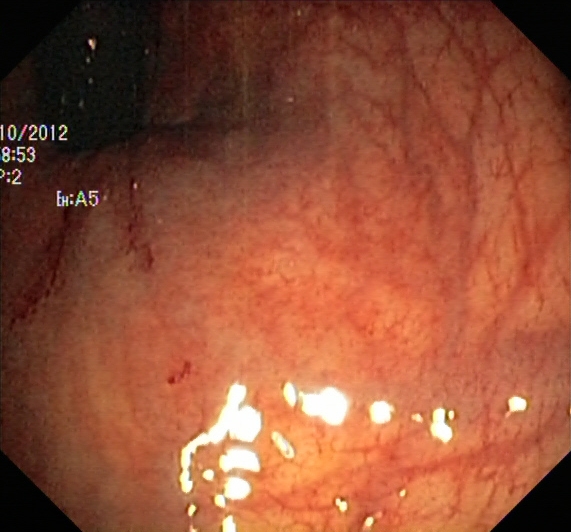Gastrointestinal endoscopy image showing ulcerative colitis, Mayo endoscopic subscore 1.